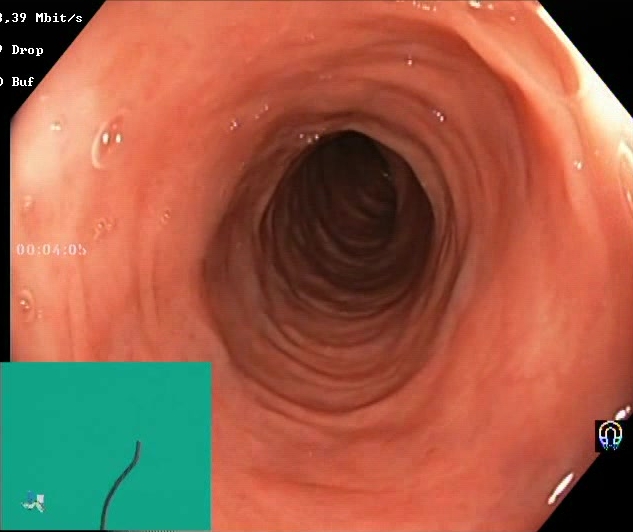Lower-GI endoscopy — Boston Bowel Preparation Scale score 2–3 (adequate preparation).